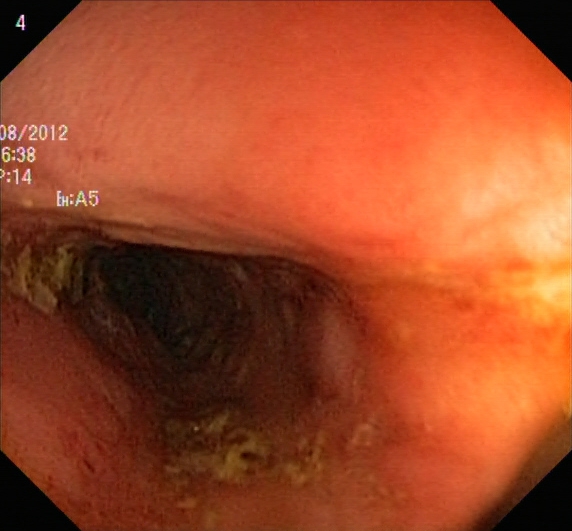modality: colonoscopy; tract: lower GI tract; category: pathological finding; finding: ulcerative colitis, Mayo endoscopic subscore 2